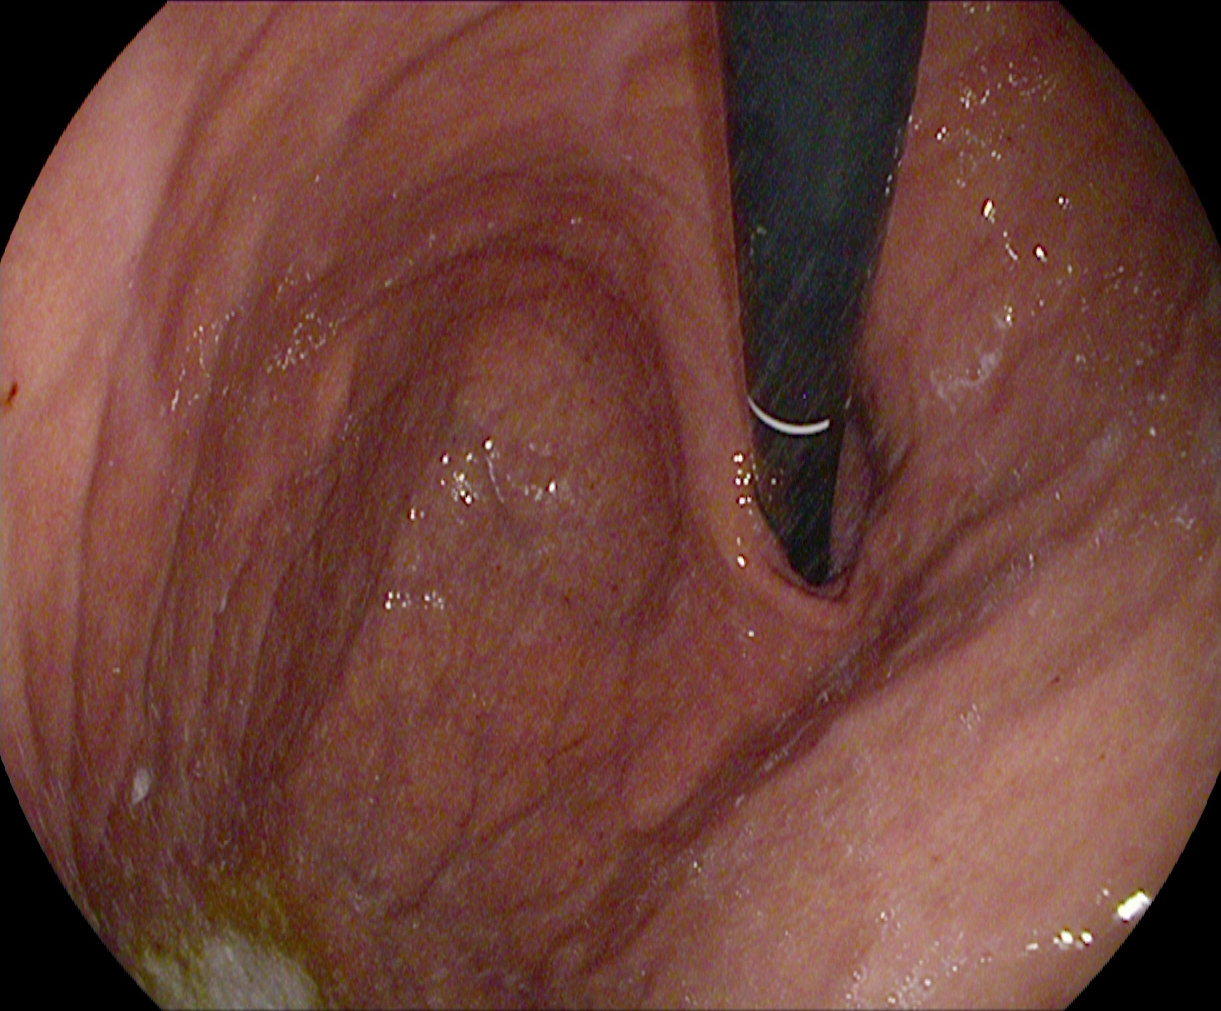stomach in retroflexion.